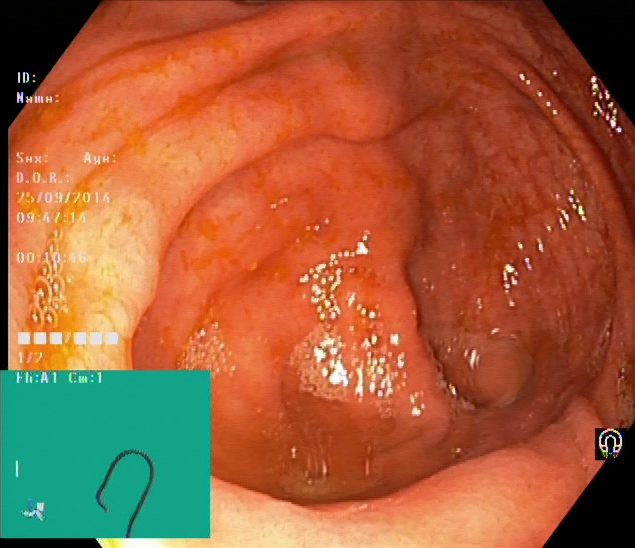{"modality": "lower gastrointestinal endoscopy", "finding": "cecum"}